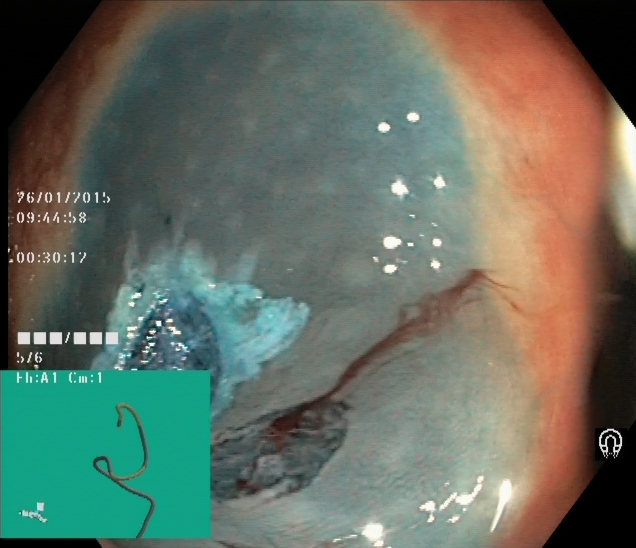{"modality": "lower-GI endoscopy", "tract": "lower GI tract", "finding": "dyed resection margins (post-polypectomy)"}